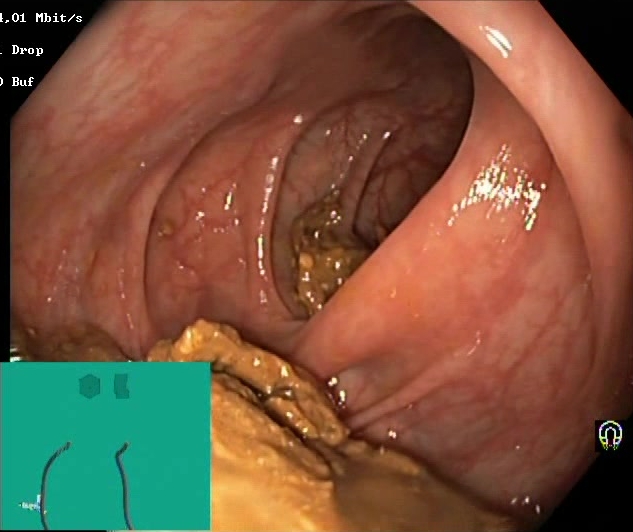{"modality": "colonoscopy", "tract": "lower GI tract", "category": "mucosal-view quality", "finding": "Boston Bowel Preparation Scale score 0\u20131 (inadequate preparation)"}